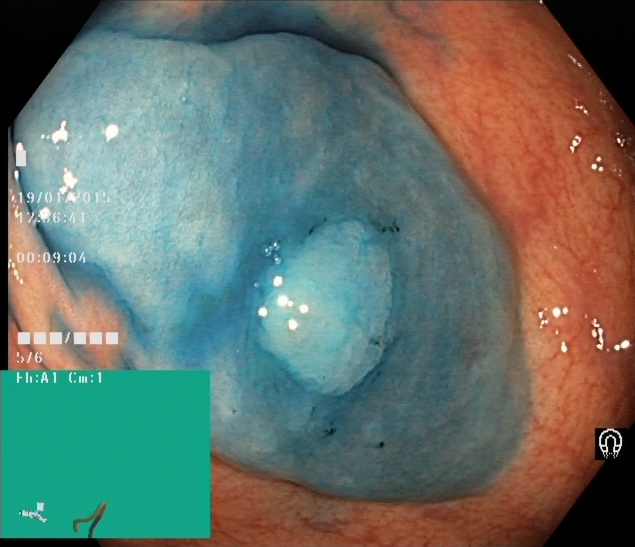{"modality": "lower-GI endoscopy", "finding": "dyed and lifted polyp (pre-resection)"}